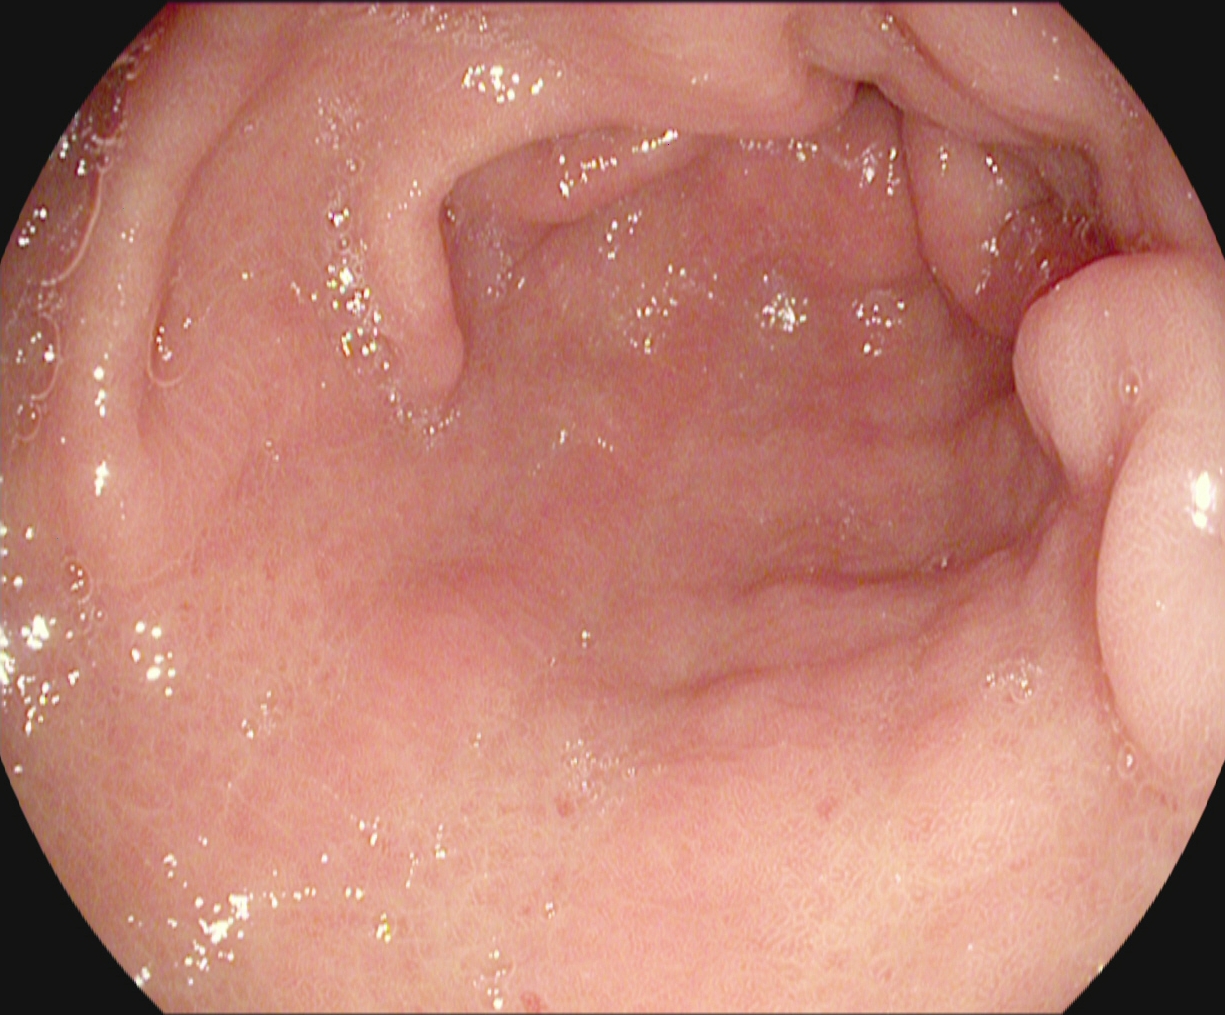modality: gastroscopy; category: anatomical landmark; finding: pylorus